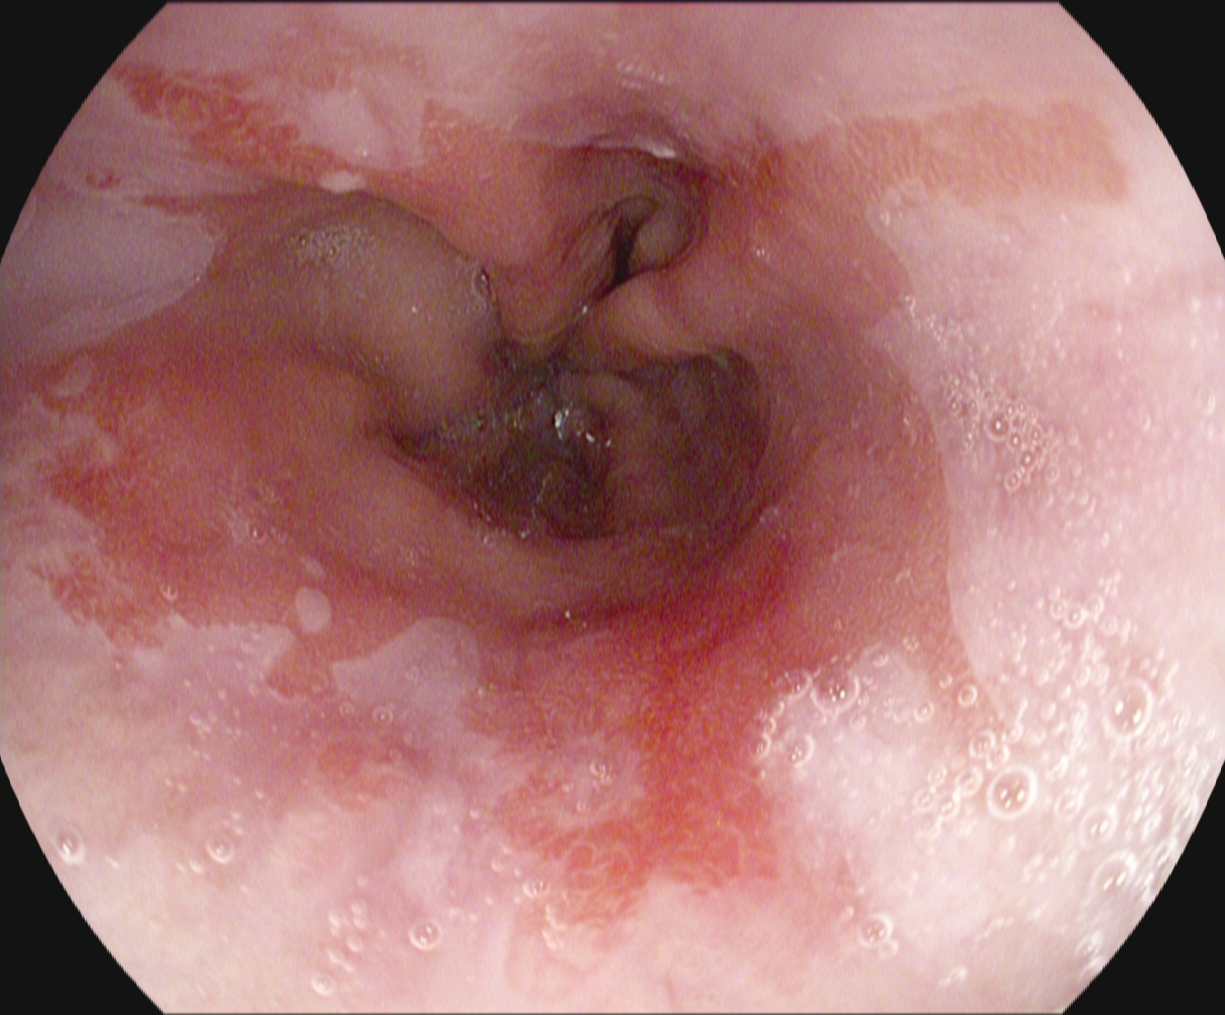GI endoscopy image of the upper GI tract showing reflux esophagitis, Los Angeles grade B–D.